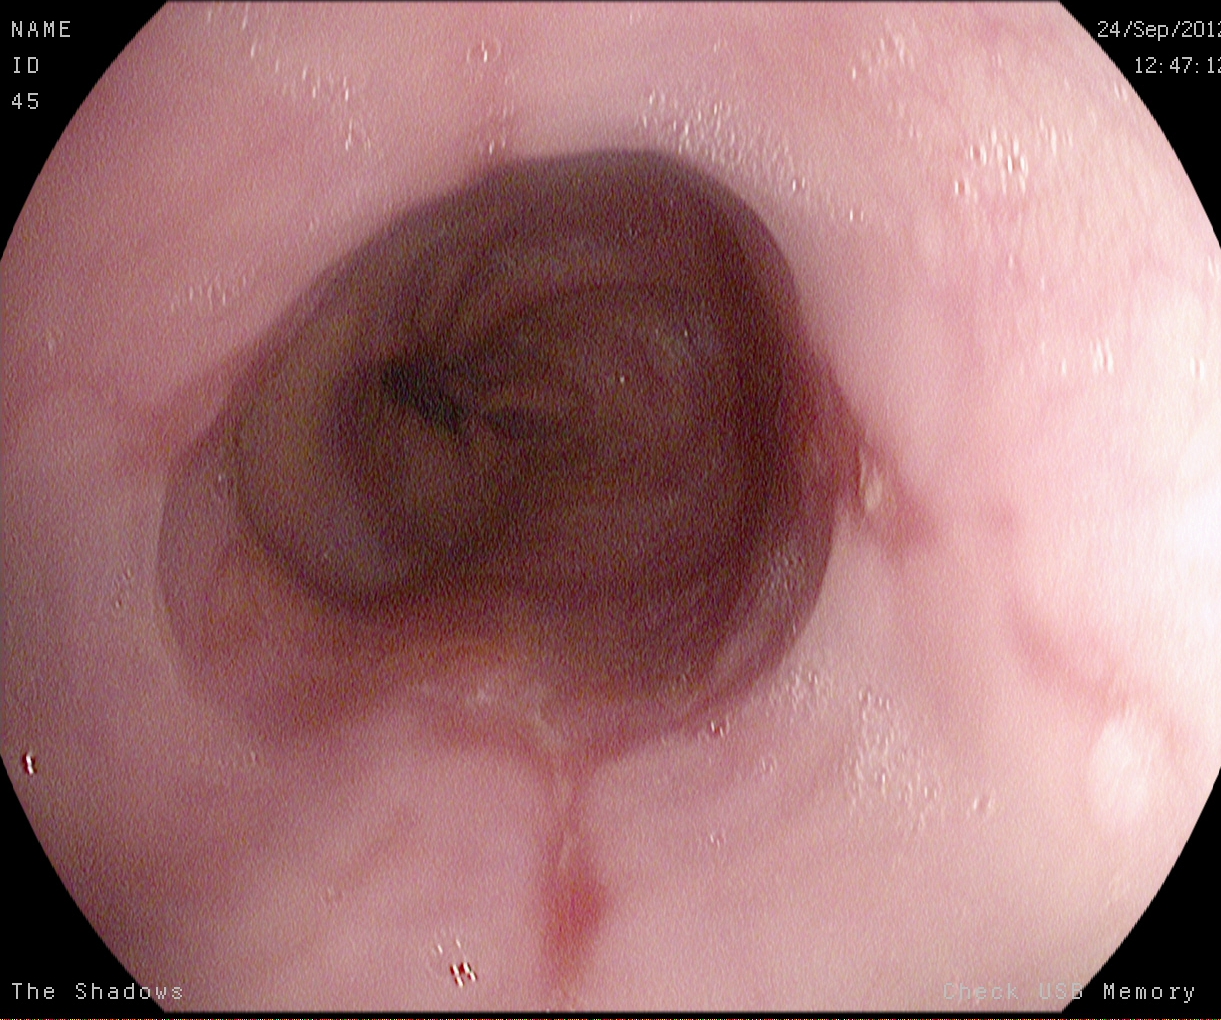PROCEDURE: EGD.
CATEGORY: Pathological finding.
FINDINGS: Reflux esophagitis, Los Angeles grade A.